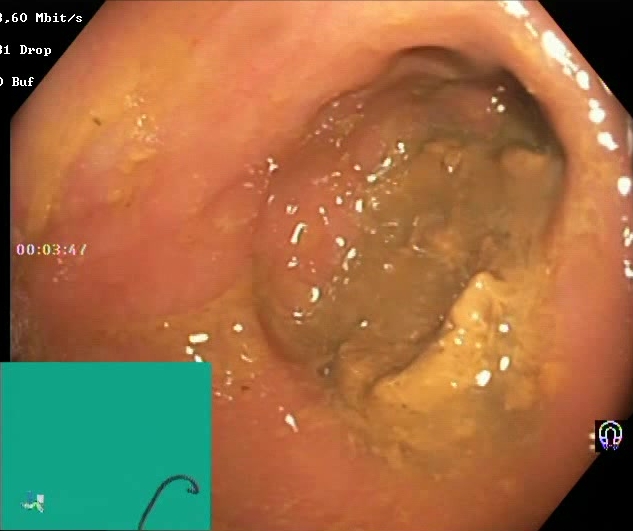Colonoscopy. Finding: BBPS score 0–1 (inadequate preparation).